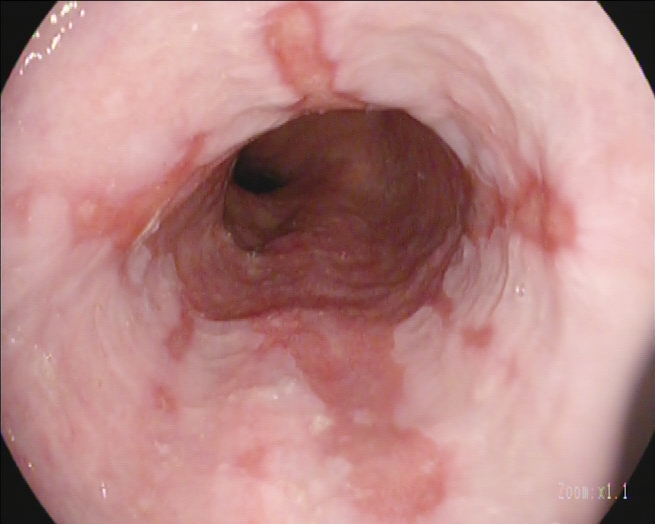PROCEDURE: EGD.
CATEGORY: Pathological finding.
FINDINGS: Reflux esophagitis, Los Angeles grade B–D.